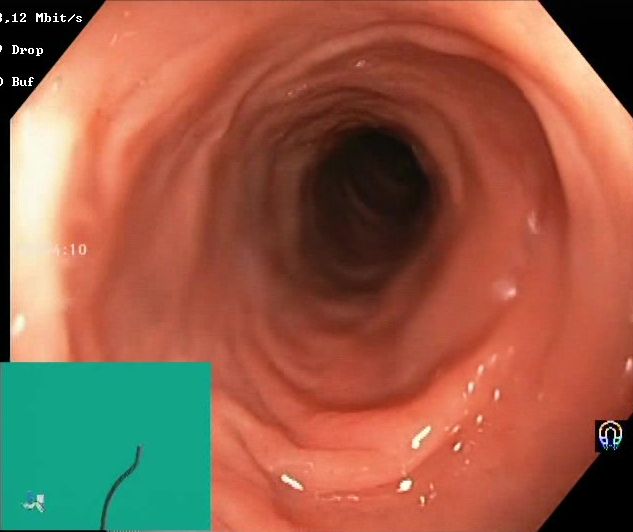This endoscopic image of the lower GI tract shows Boston Bowel Preparation Scale score 2–3 (adequate preparation).